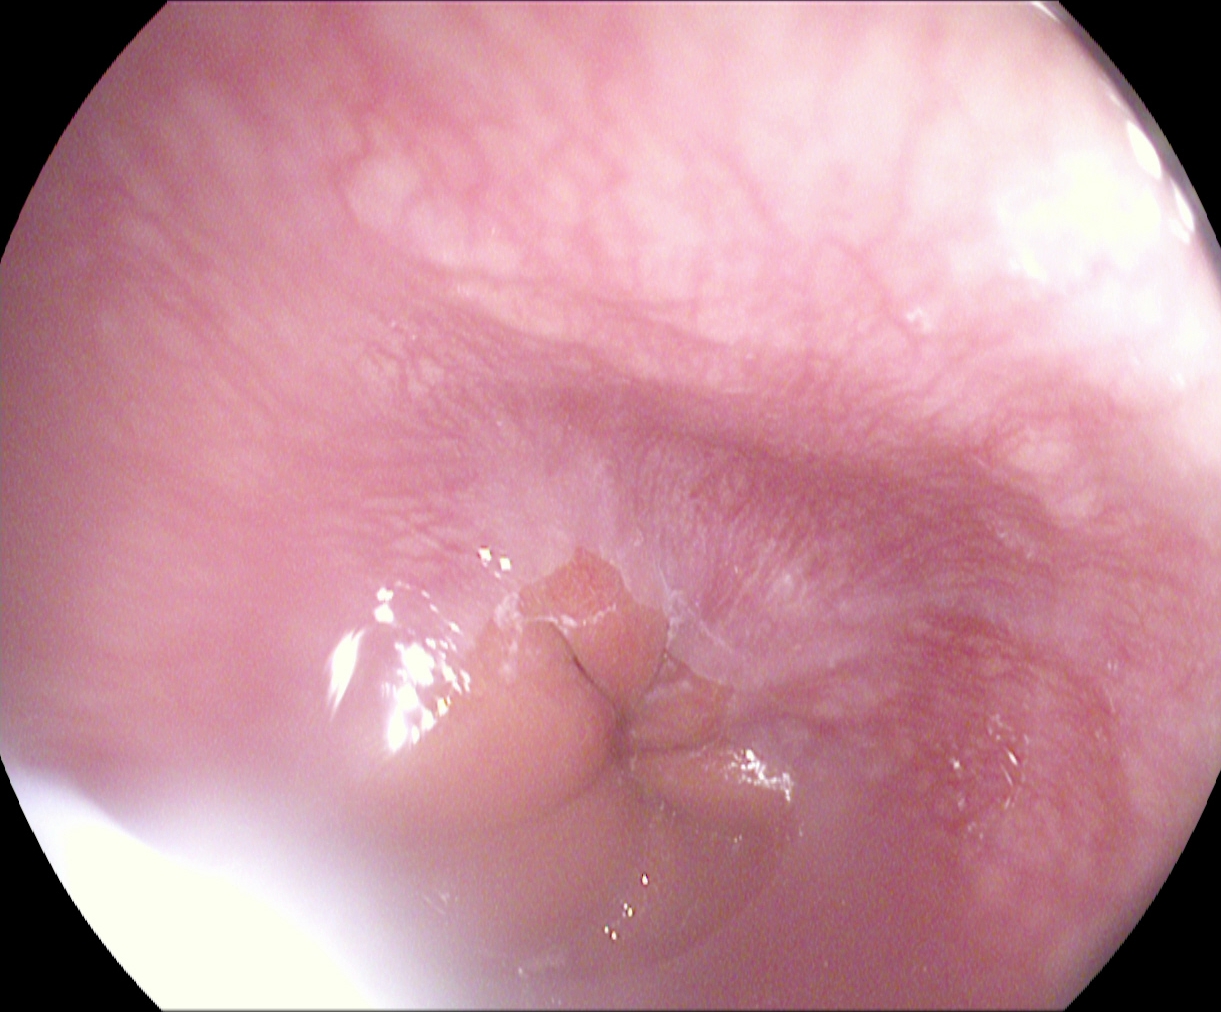EGD. Tract: upper GI tract. Finding: Z-line (gastroesophageal junction).